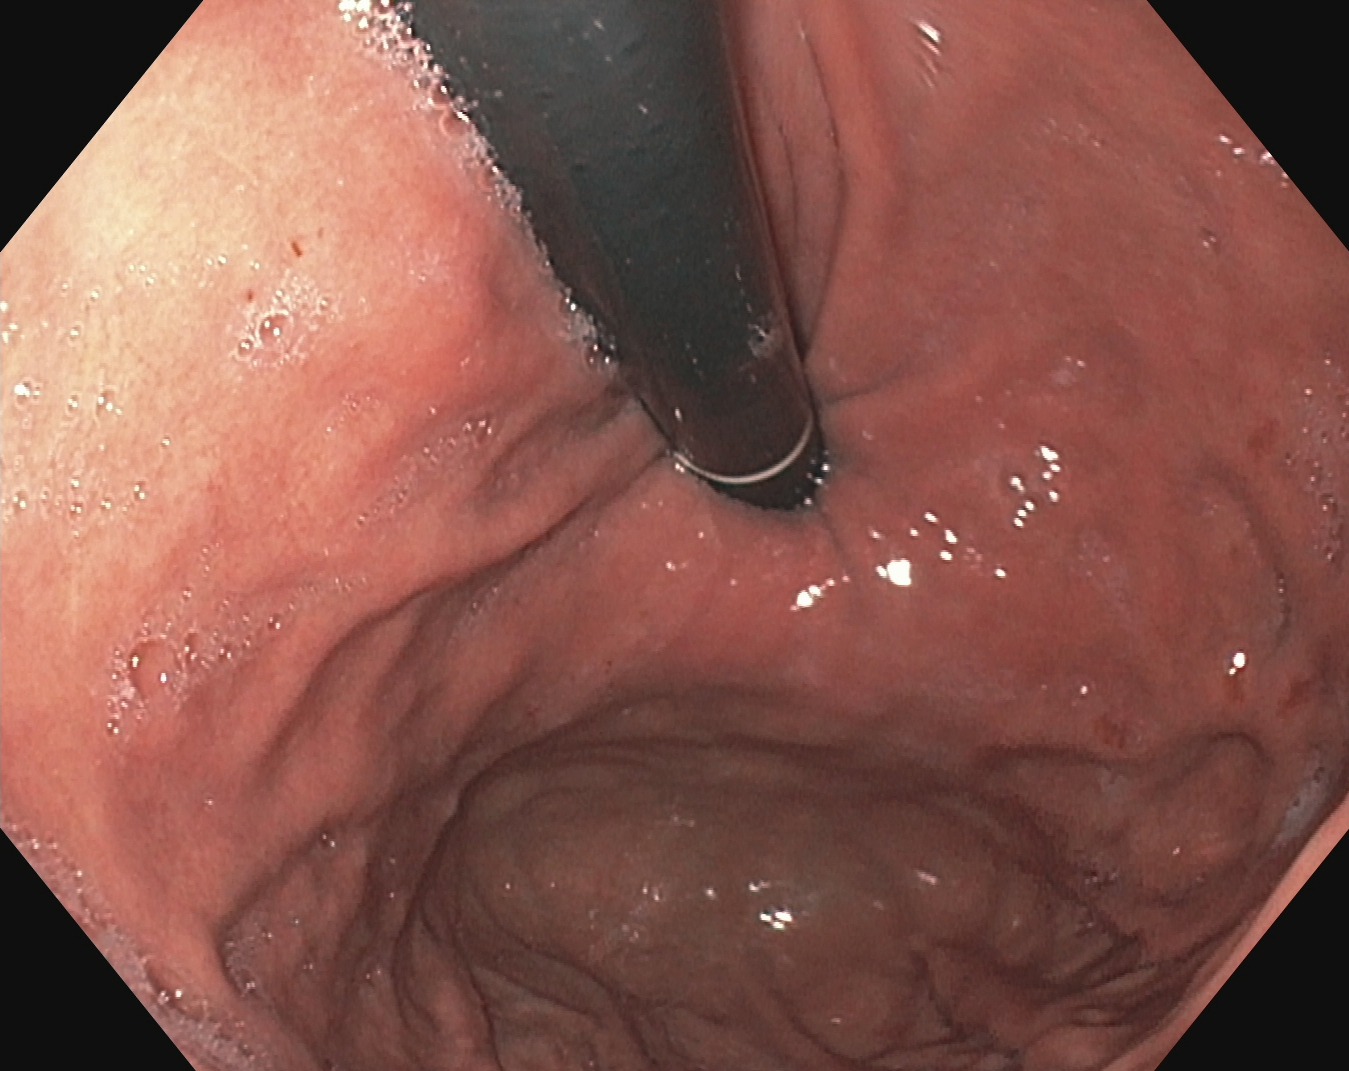PROCEDURE: Upper-GI endoscopy.
CATEGORY: Anatomical landmark.
FINDINGS: Stomach in retroflexion.